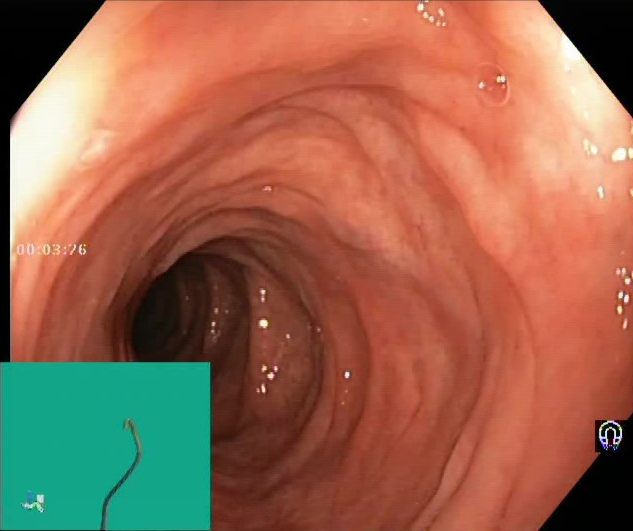Boston Bowel Preparation Scale score 2–3 (adequate preparation).